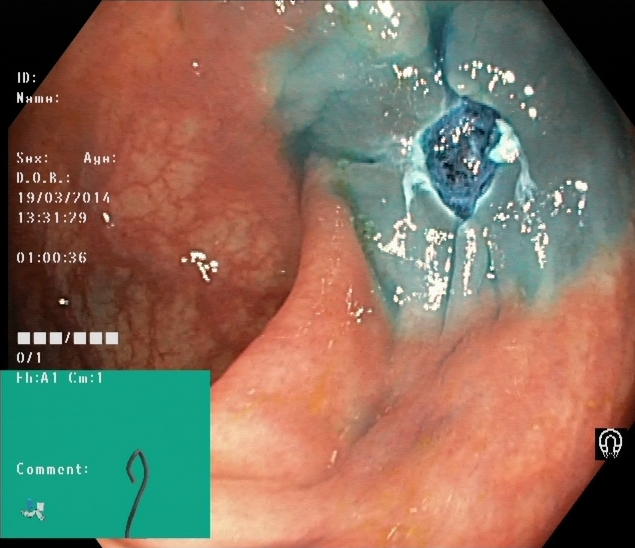Colonoscopy. Finding: dyed resection margins (post-polypectomy).